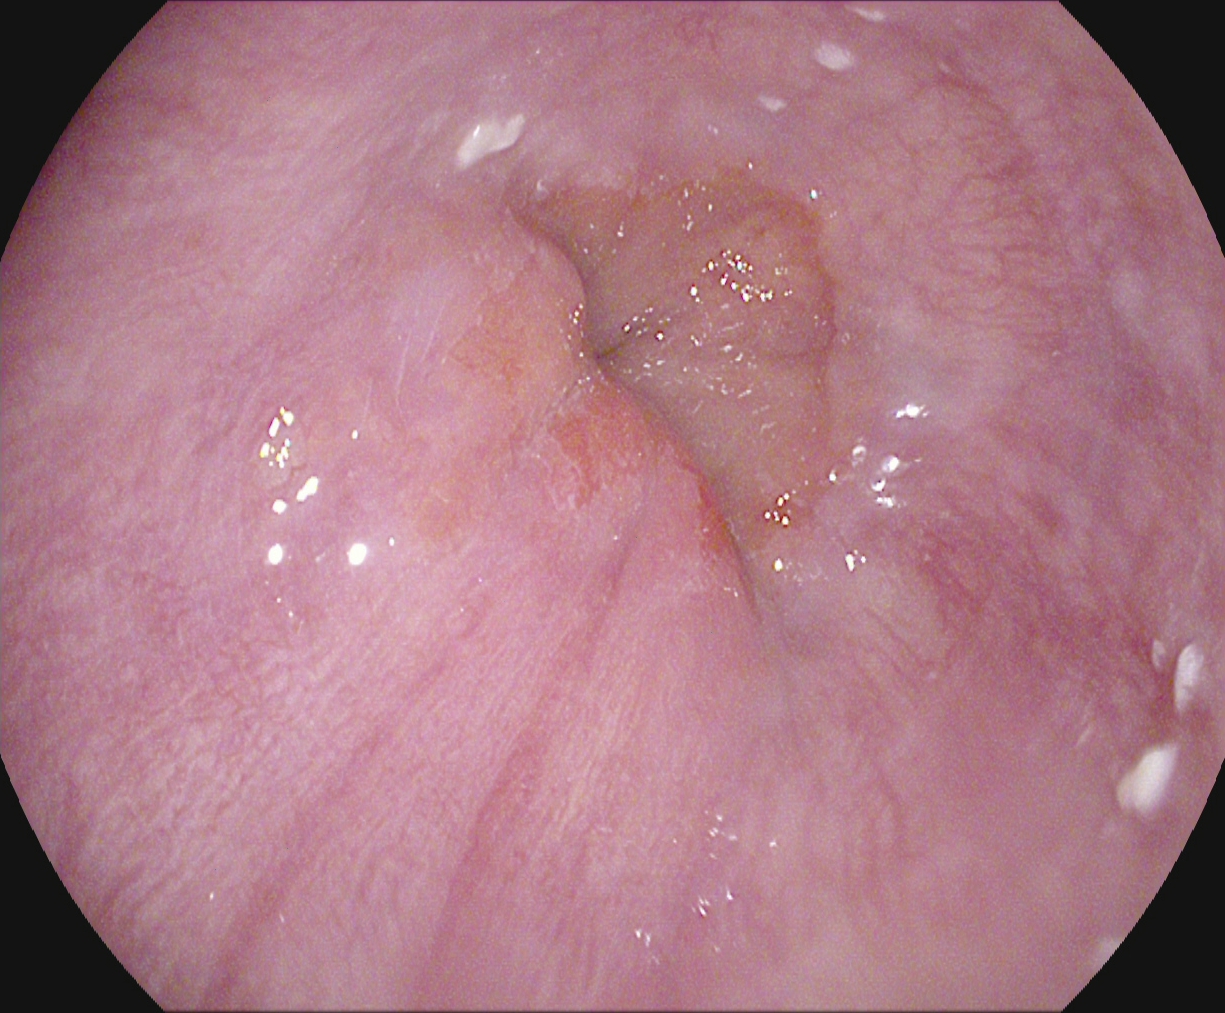Endoscopy image showing Z-line (gastroesophageal junction).